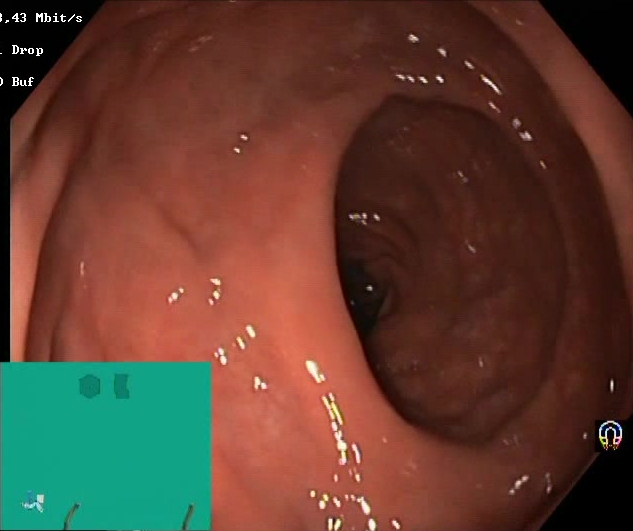This endoscopy frame of the lower GI tract shows Boston Bowel Preparation Scale score 2–3 (adequate preparation).